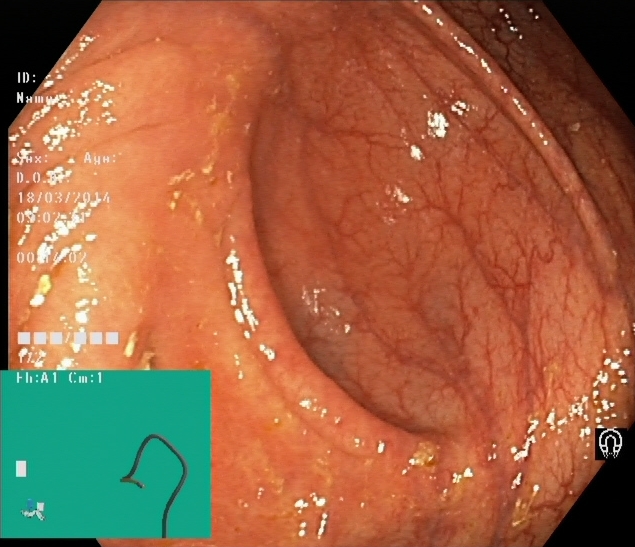modality: colonoscopy | tract: lower GI tract | category: anatomical landmark | finding: cecum